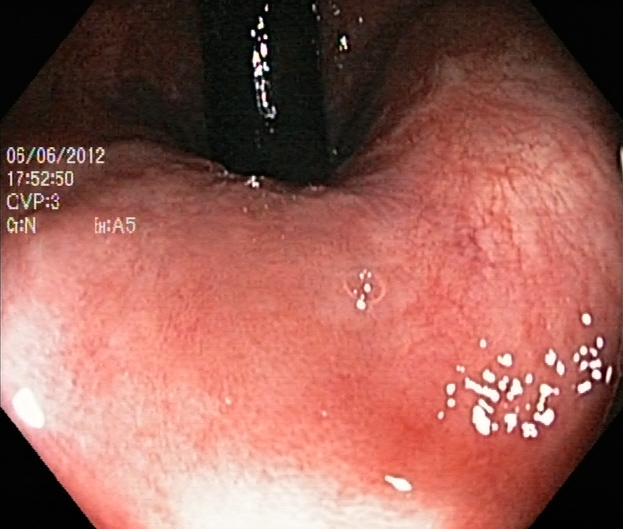Colonoscopy — rectum in retroflexion.